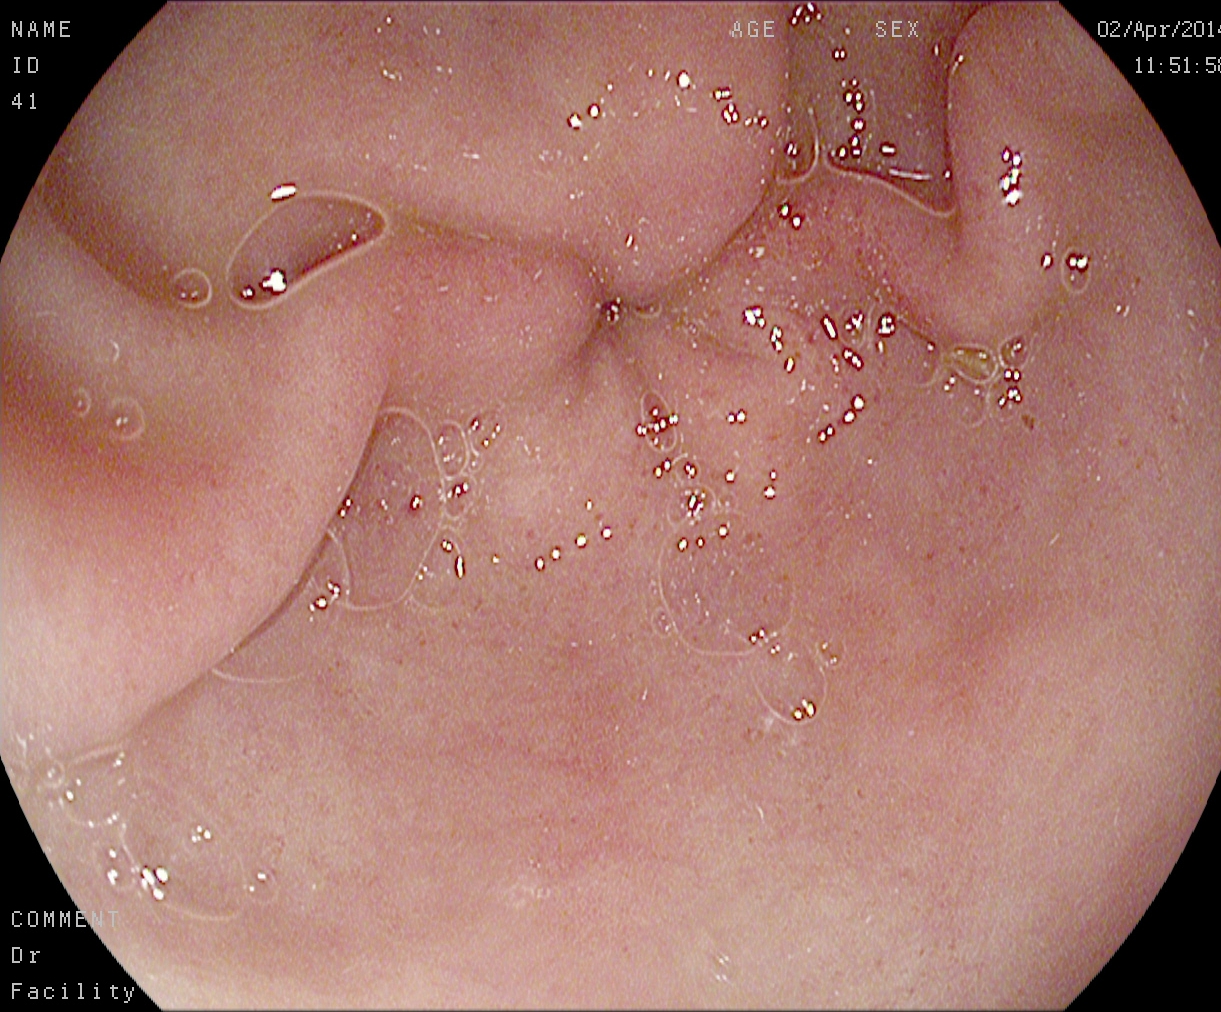PROCEDURE: Upper-GI endoscopy.
FINDINGS: Pylorus.